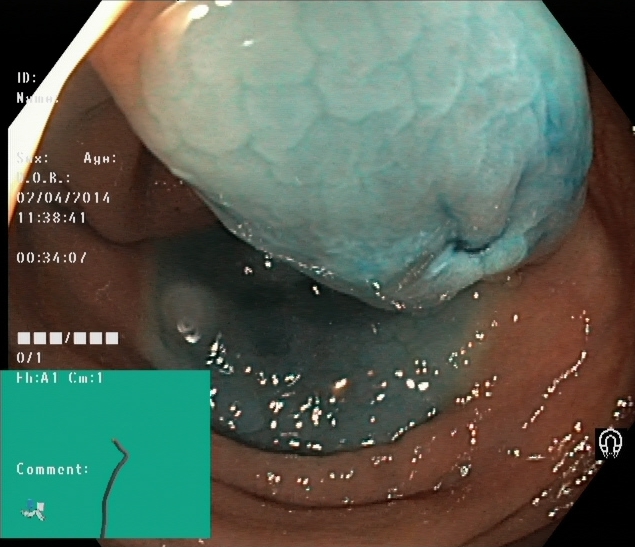{"modality": "lower-GI endoscopy", "finding": "dyed resection margins (post-polypectomy)"}